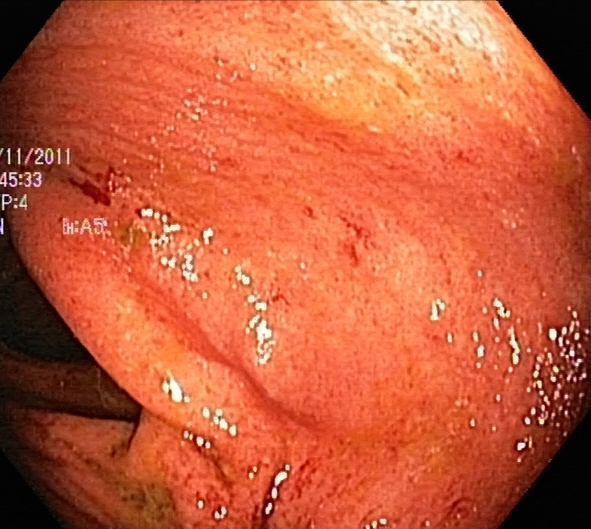Ulcerative colitis, Mayo endoscopic subscore 2.